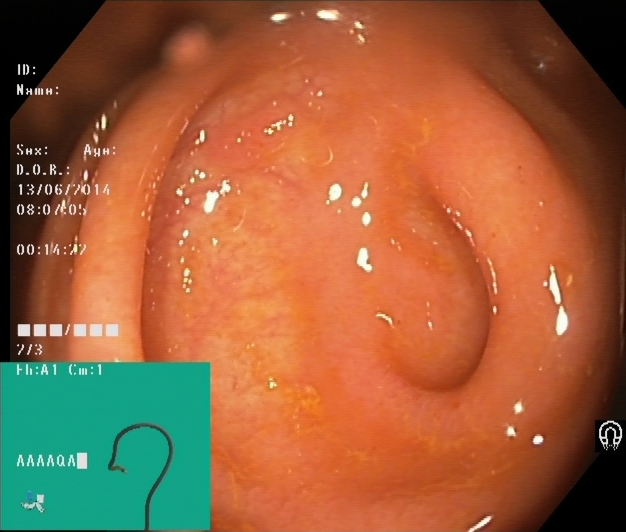{"modality": "lower-GI endoscopy", "finding": "cecum"}